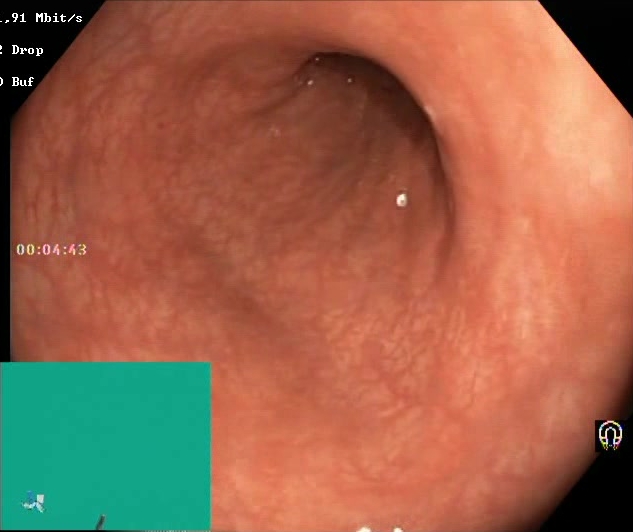Boston Bowel Preparation Scale score 2–3 (adequate preparation).